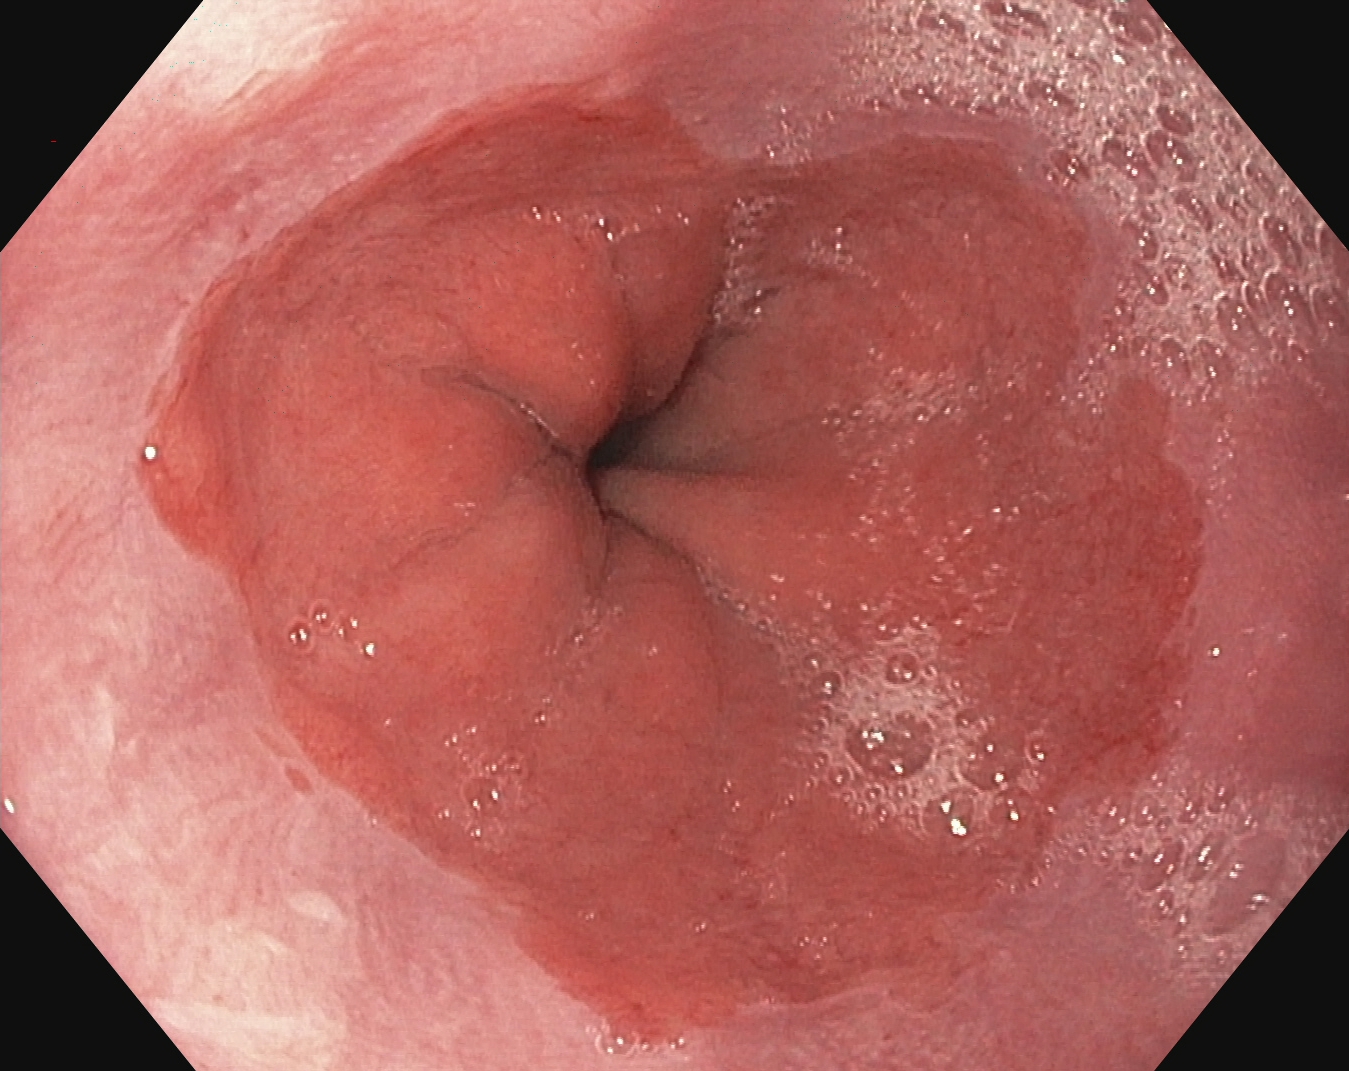PROCEDURE: Gastroscopy.
FINDINGS: Barrett's esophagus, short segment.